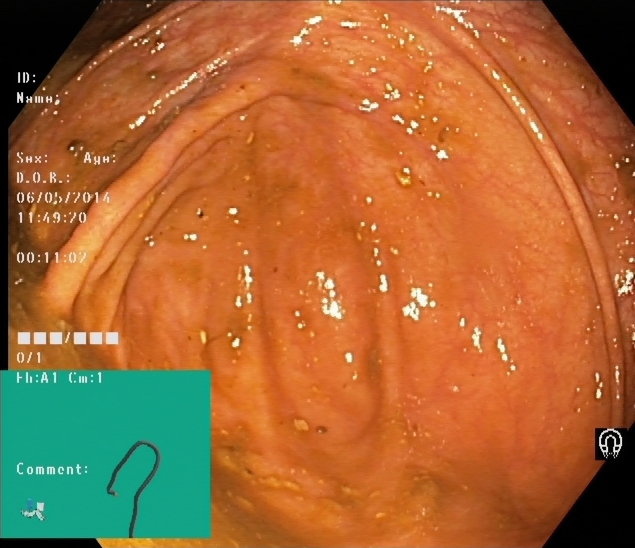PROCEDURE: Lower-GI endoscopy.
CATEGORY: Anatomical landmark.
FINDINGS: Cecum.